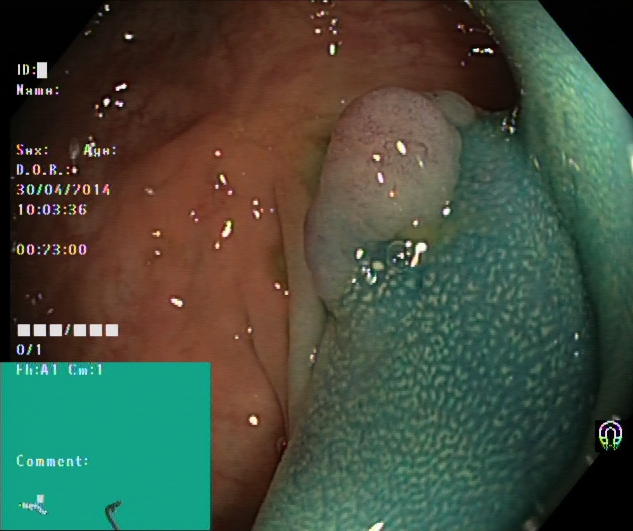PROCEDURE: Colonoscopy.
CATEGORY: Therapeutic intervention.
FINDINGS: Dyed and lifted polyp (pre-resection).